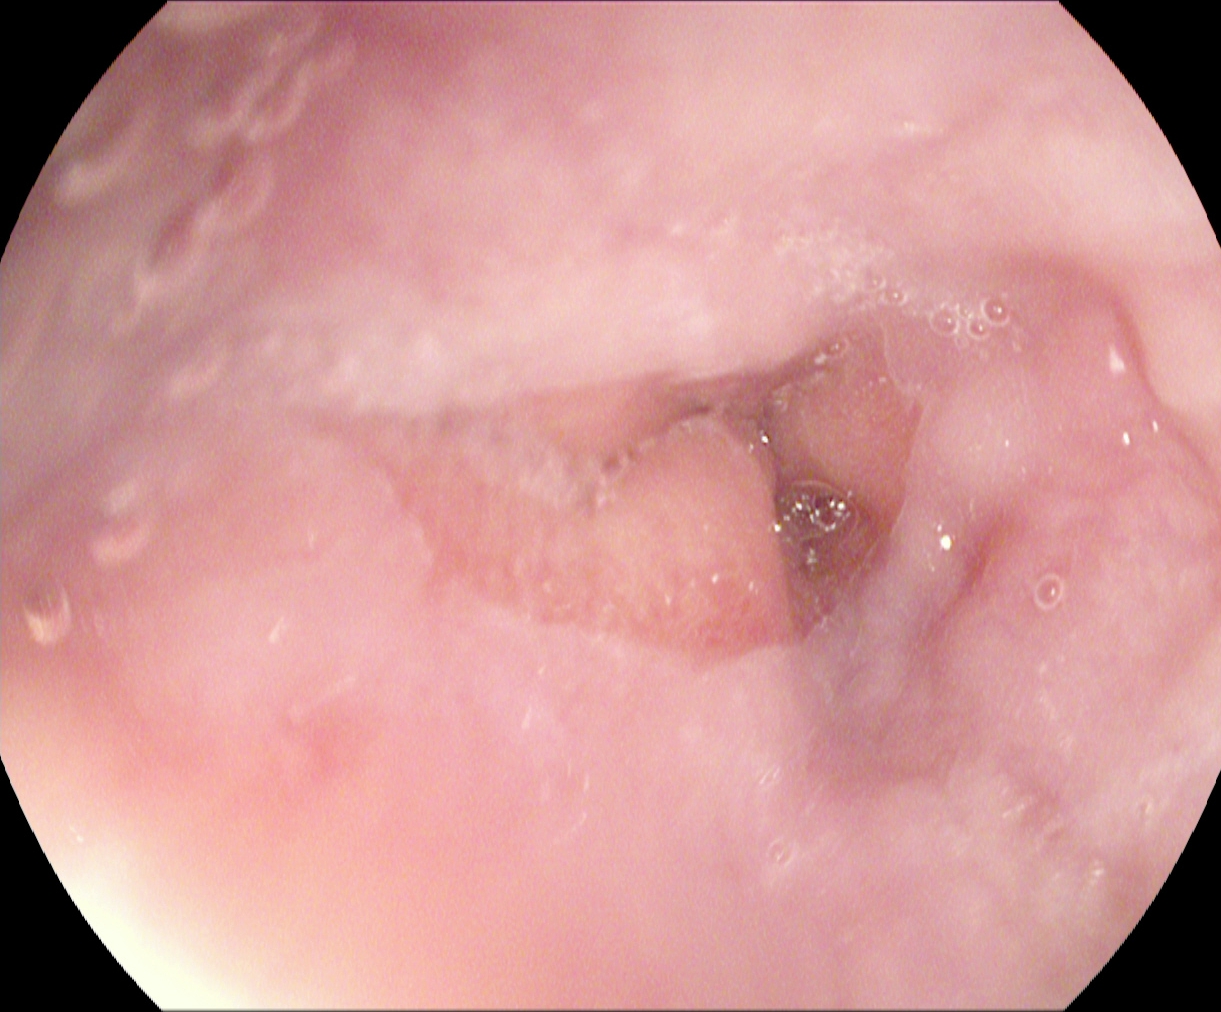{"modality": "esophagogastroduodenoscopy", "tract": "upper GI tract", "category": "anatomical landmark", "finding": "Z-line (gastroesophageal junction)"}